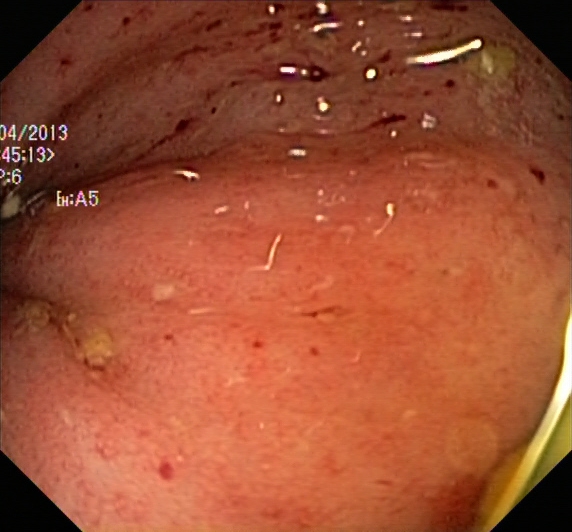Lower gastrointestinal endoscopy — ulcerative colitis, Mayo endoscopic subscore 2.